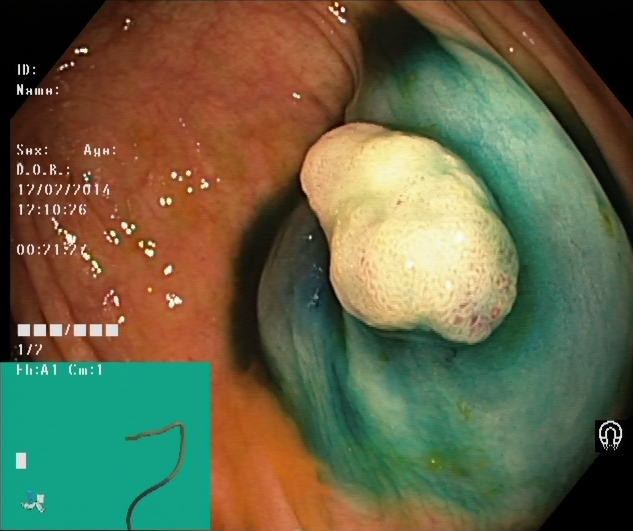Lower-GI endoscopy — dyed and lifted polyp (pre-resection).